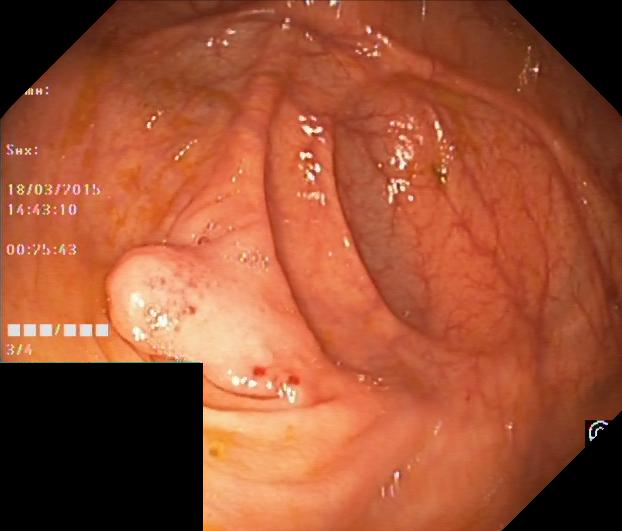This endoscopy frame of the lower GI tract shows colorectal polyp(s).